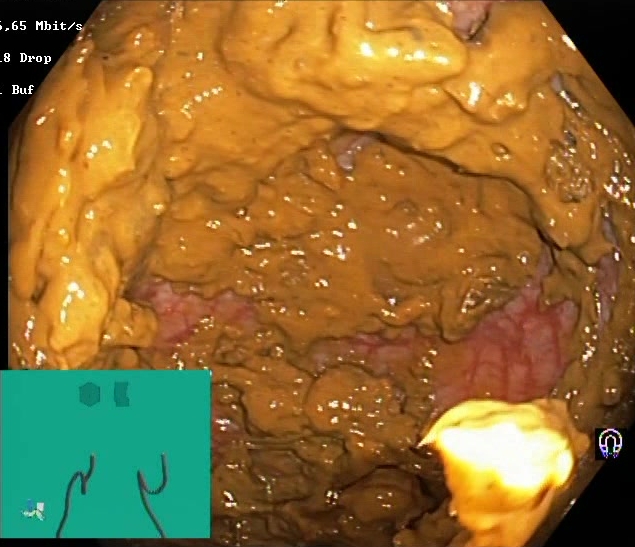modality: lower gastrointestinal endoscopy | tract: lower GI tract | category: mucosal-view quality | finding: Boston Bowel Preparation Scale score 0–1 (inadequate preparation)